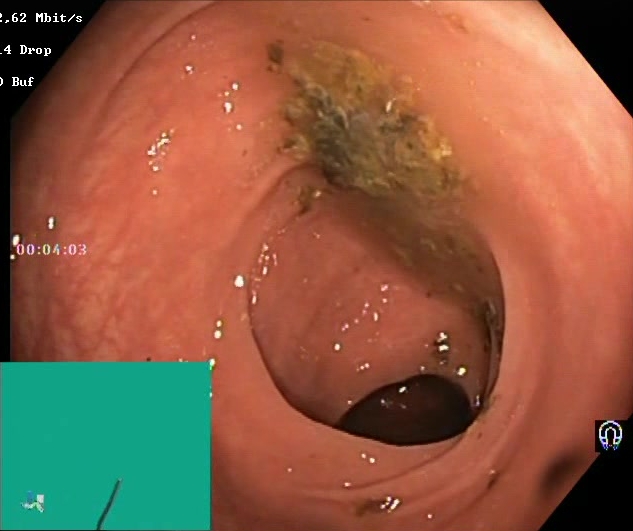Endoscopic frame of the lower GI tract showing Boston Bowel Preparation Scale score 0–1 (inadequate preparation).